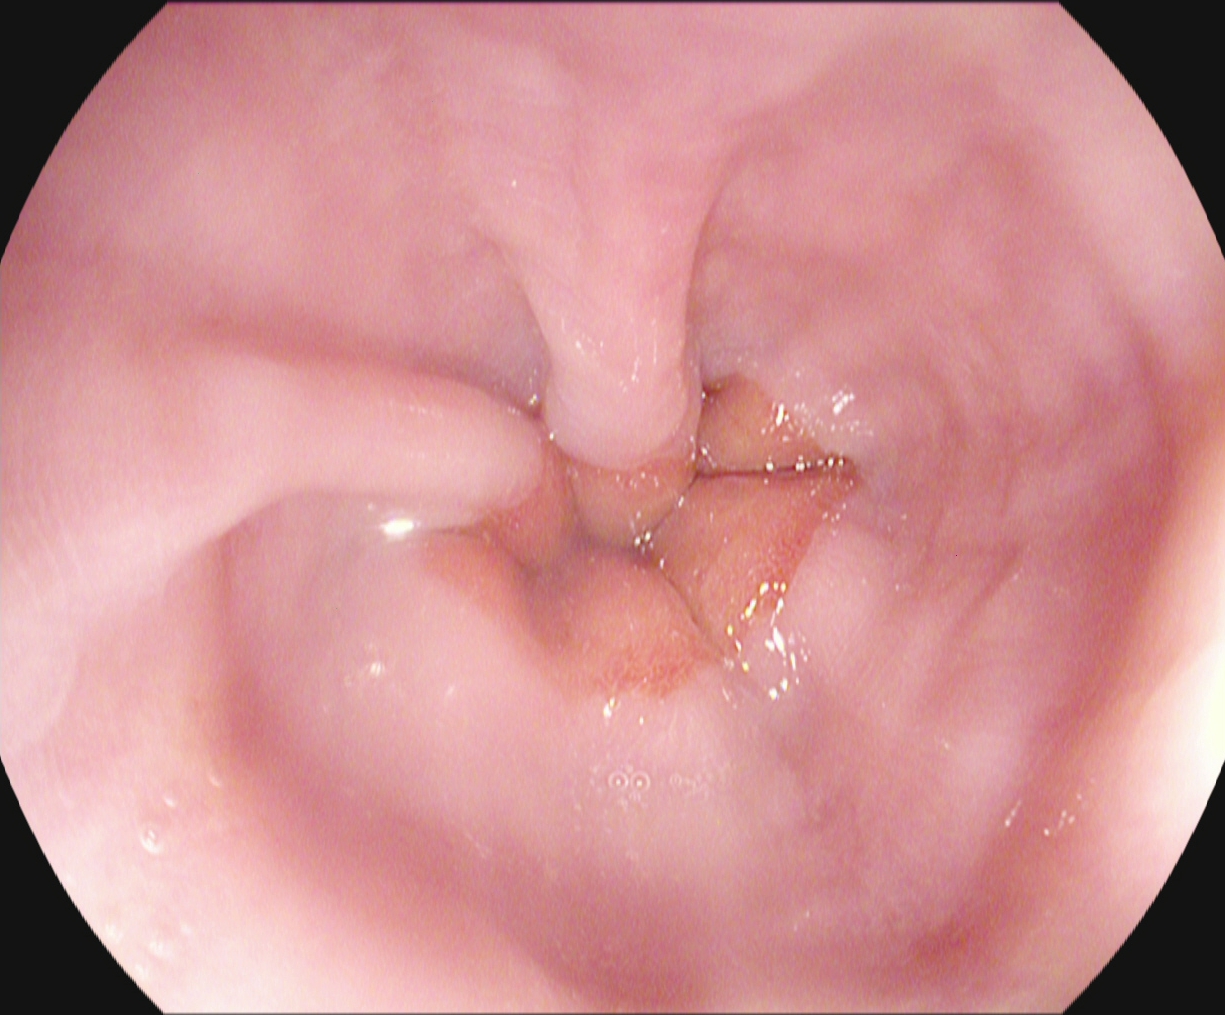EGD. Tract: upper GI tract. Finding: Z-line (gastroesophageal junction).